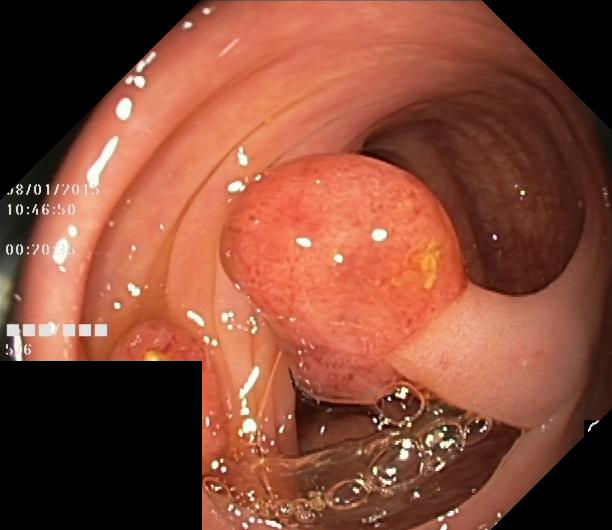Lower-GI endoscopy. Tract: lower GI tract. Pathological finding. Finding: colorectal polyp(s).